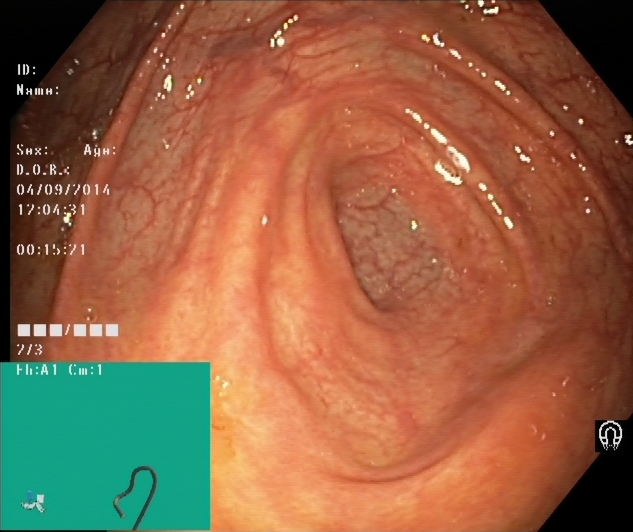modality: lower gastrointestinal endoscopy | tract: lower GI tract | category: anatomical landmark | finding: cecum